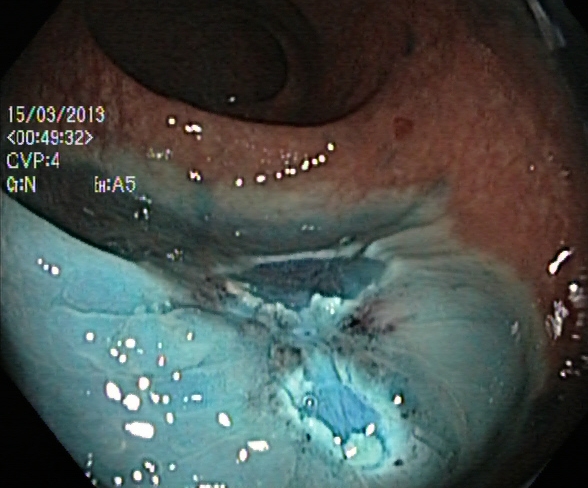Lower gastrointestinal endoscopy. Tract: lower GI tract. Finding: dyed resection margins (post-polypectomy).